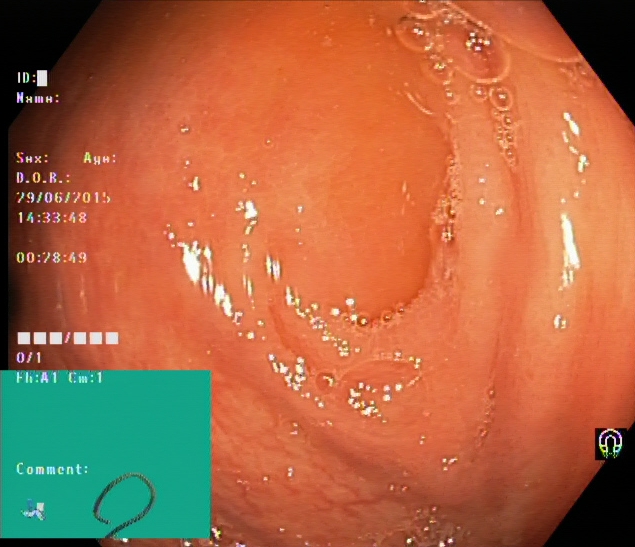Endoscopy image showing cecum.